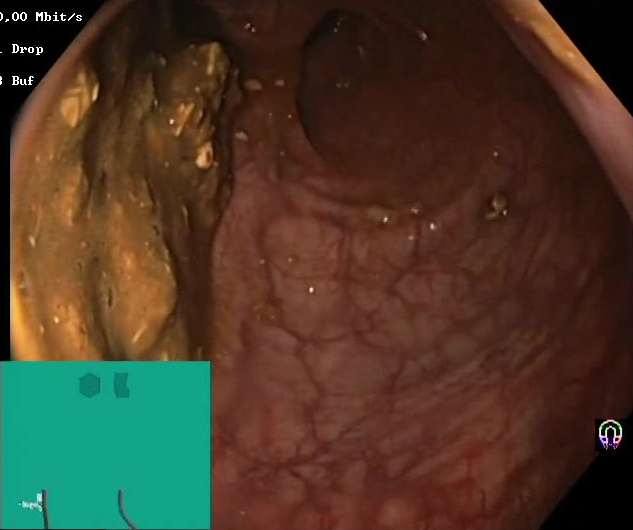This endoscopy frame shows BBPS score 0–1 (inadequate preparation).